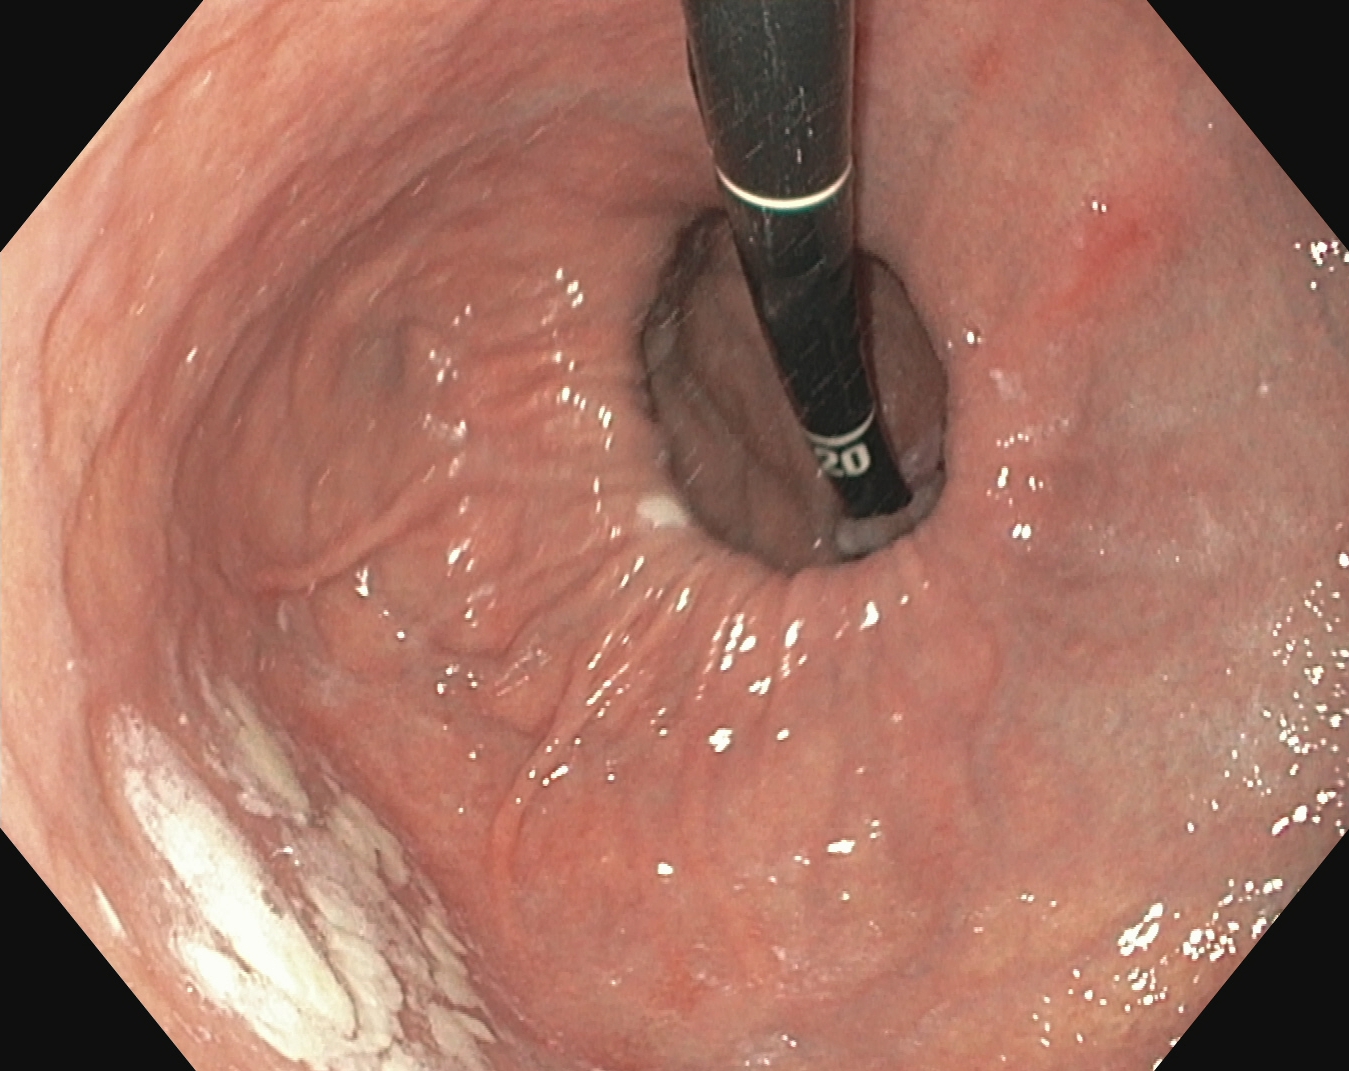Gastroscopy — stomach in retroflexion.